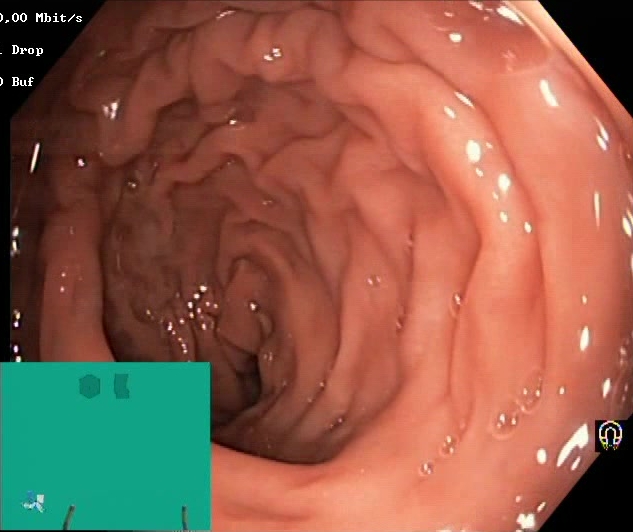This endoscopic image of the lower GI tract shows Boston Bowel Preparation Scale score 2–3 (adequate preparation).